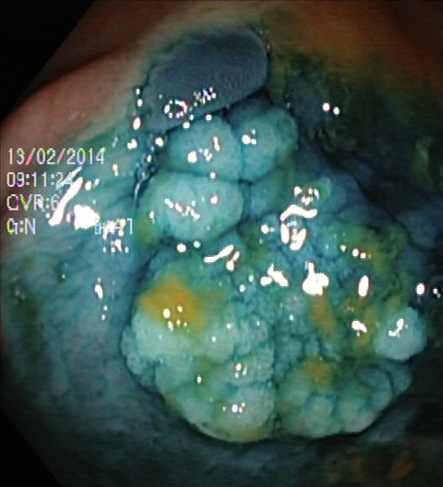Dyed and lifted polyp (pre-resection).